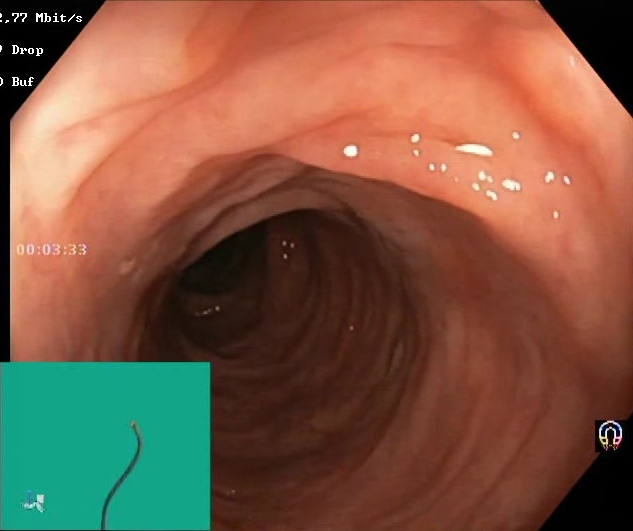PROCEDURE: Lower-GI endoscopy.
FINDINGS: Boston Bowel Preparation Scale score 2–3 (adequate preparation).